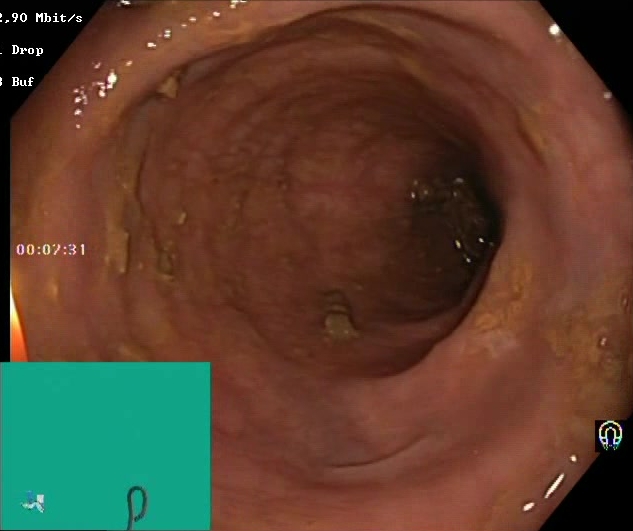PROCEDURE: Lower gastrointestinal endoscopy.
CATEGORY: Mucosal-view quality.
FINDINGS: Boston Bowel Preparation Scale score 2–3 (adequate preparation).